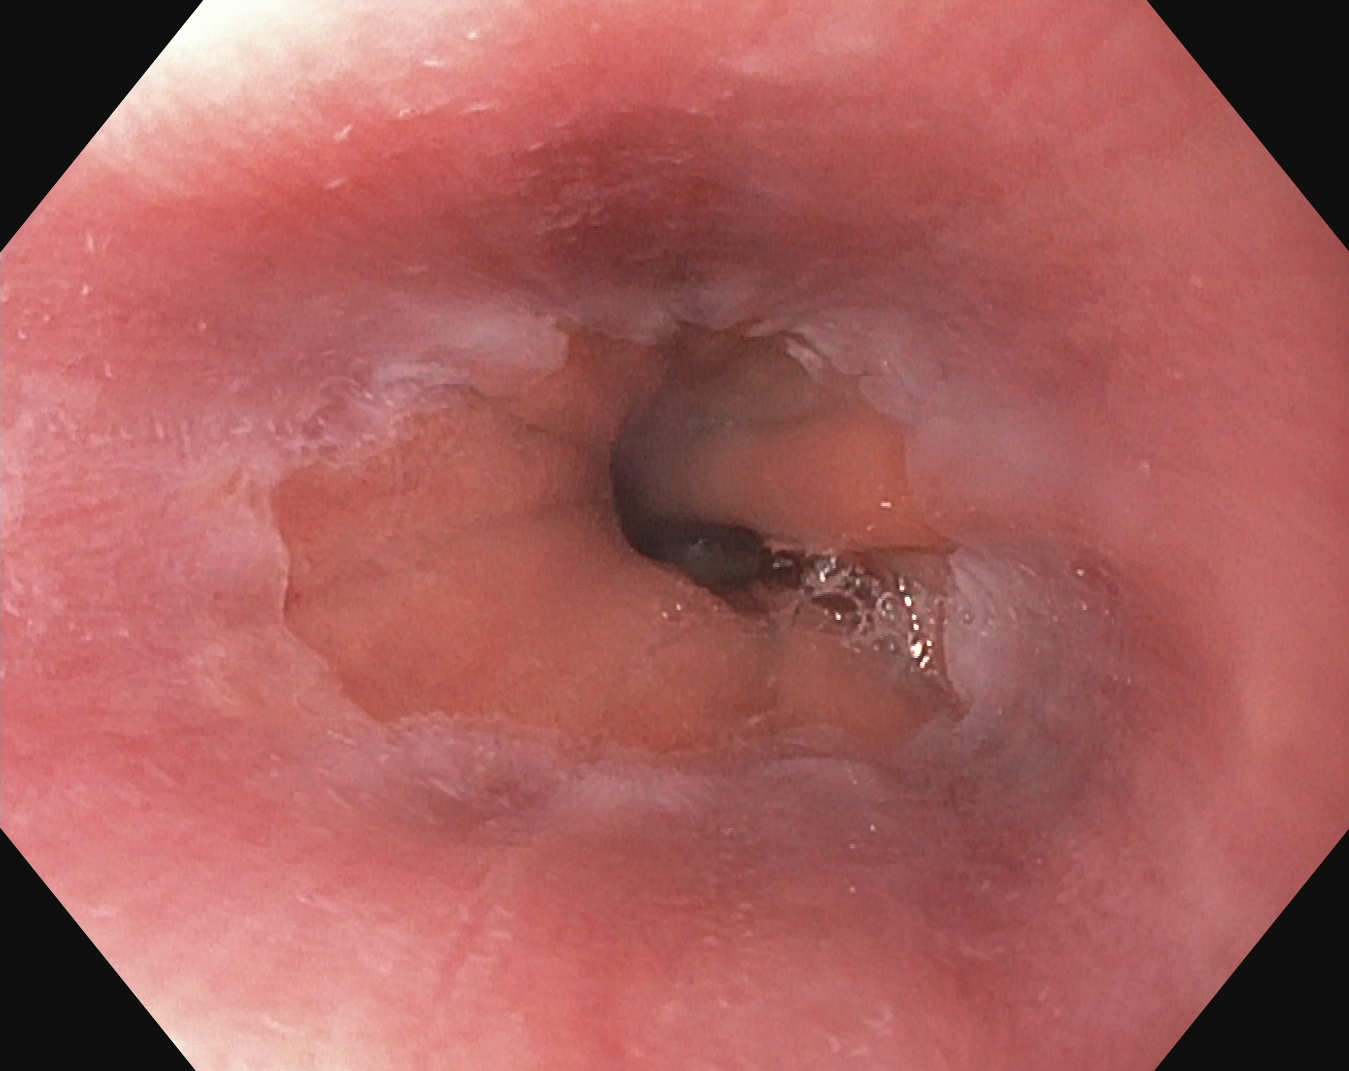Esophagogastroduodenoscopy — Z-line (gastroesophageal junction).